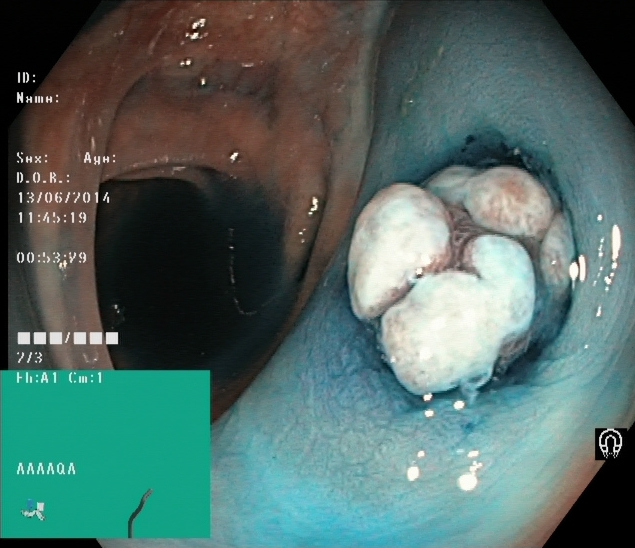Colonoscopy. Therapeutic intervention. Finding: dyed and lifted polyp (pre-resection).